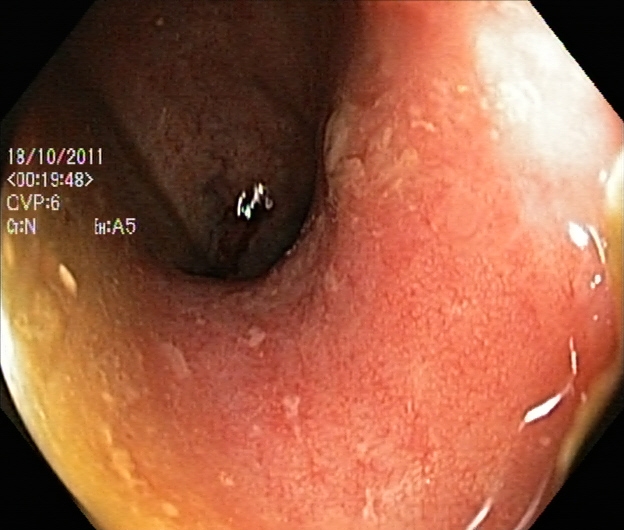PROCEDURE: Colonoscopy.
FINDINGS: Ulcerative colitis, Mayo endoscopic subscore 2.